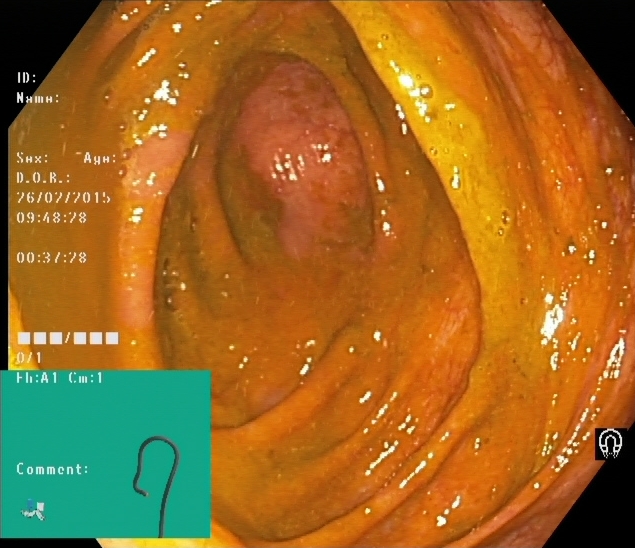PROCEDURE: Colonoscopy.
FINDINGS: Cecum.